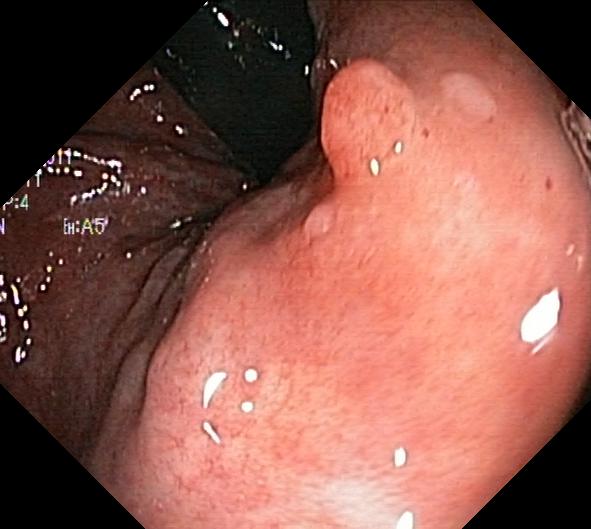{"modality": "lower-GI endoscopy", "finding": "colorectal polyp(s)"}